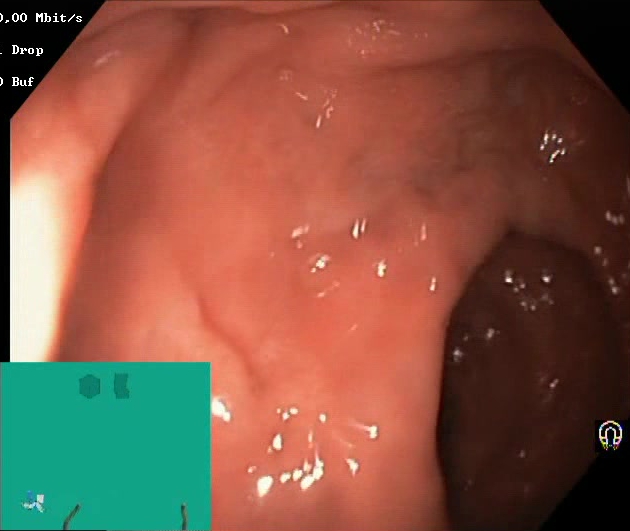{"modality": "lower-GI endoscopy", "tract": "lower GI tract", "finding": "Boston Bowel Preparation Scale score 2\u20133 (adequate preparation)"}